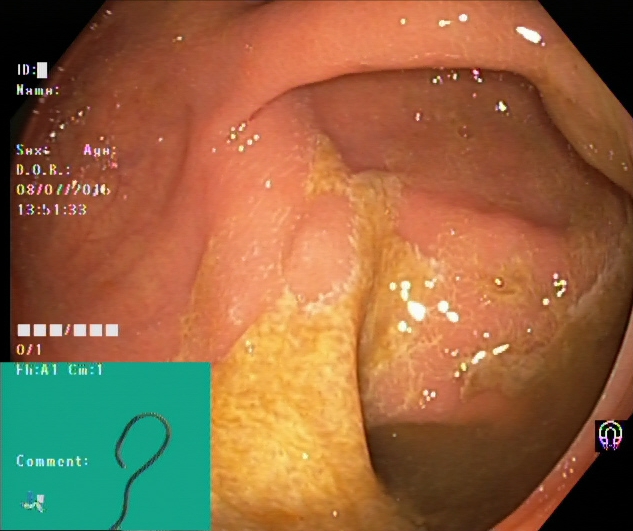This endoscopy frame shows cecum.